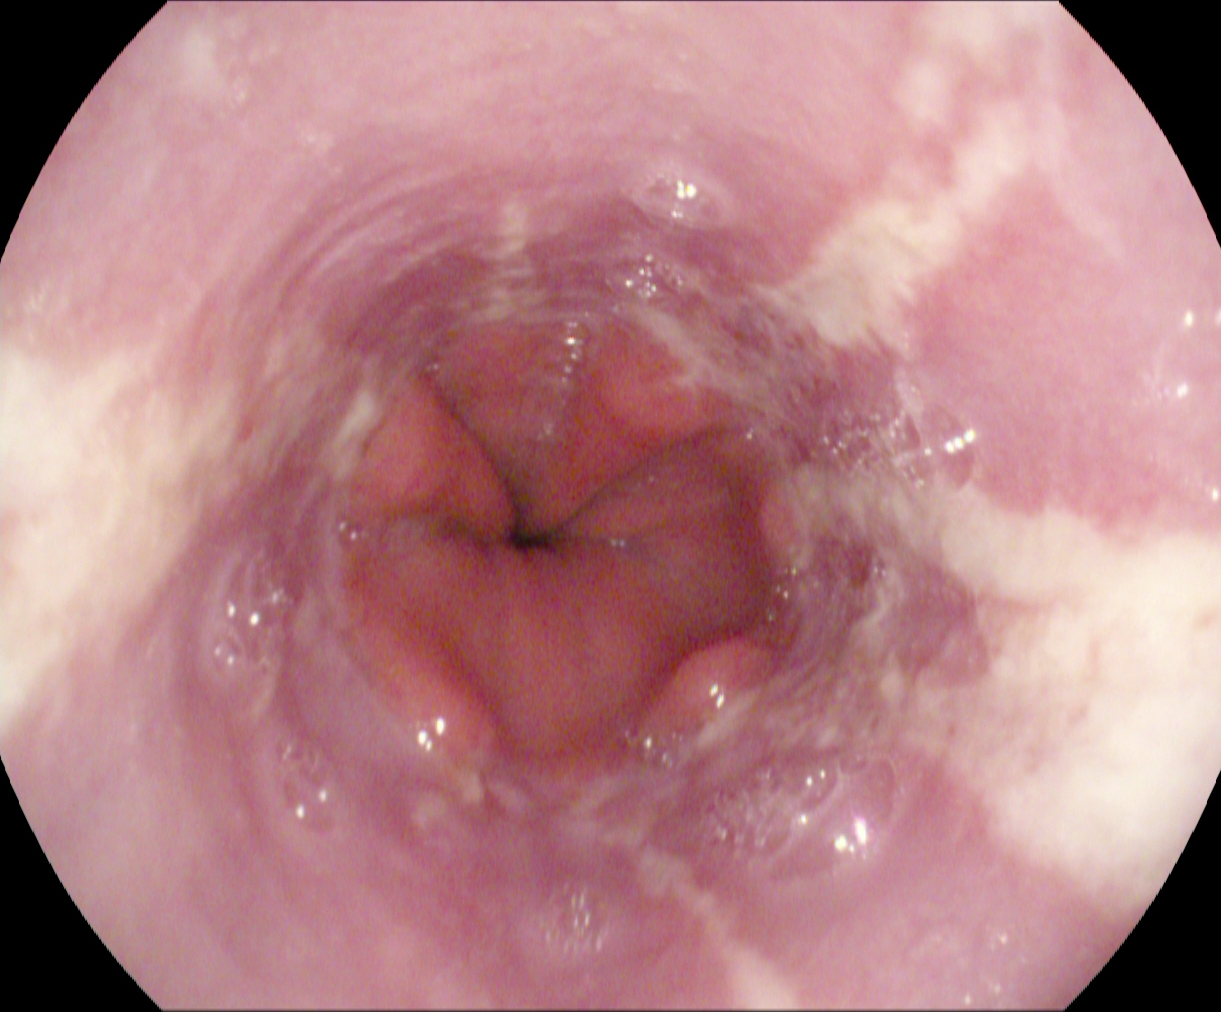{"modality": "upper-GI endoscopy", "tract": "upper GI tract", "finding": "reflux esophagitis, Los Angeles grade B\u2013D"}